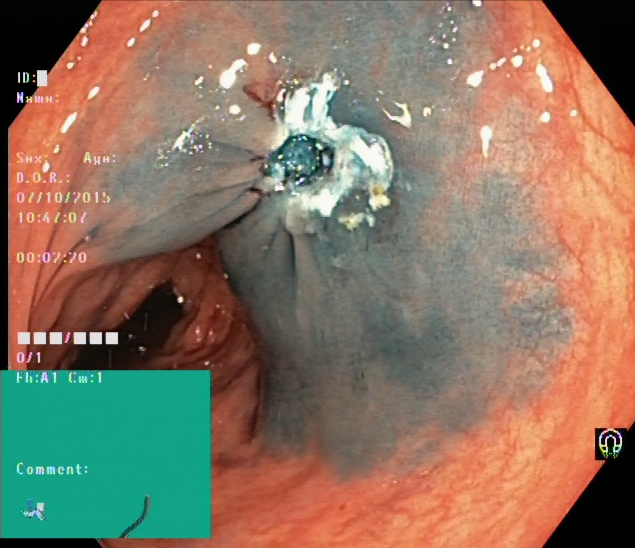Endoscopy image showing dyed resection margins (post-polypectomy).